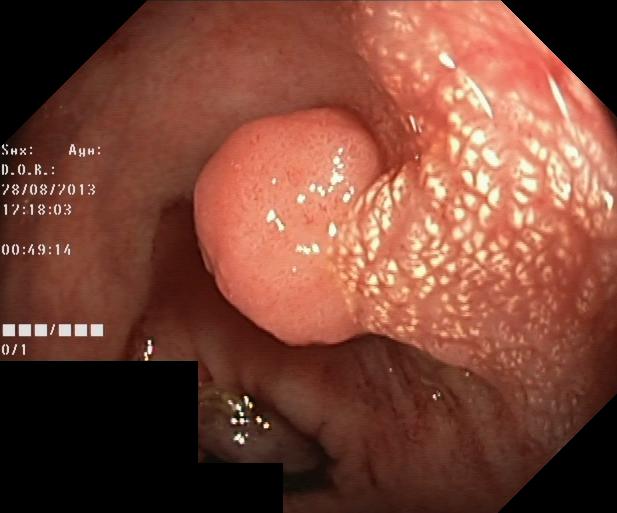colorectal polyp(s).